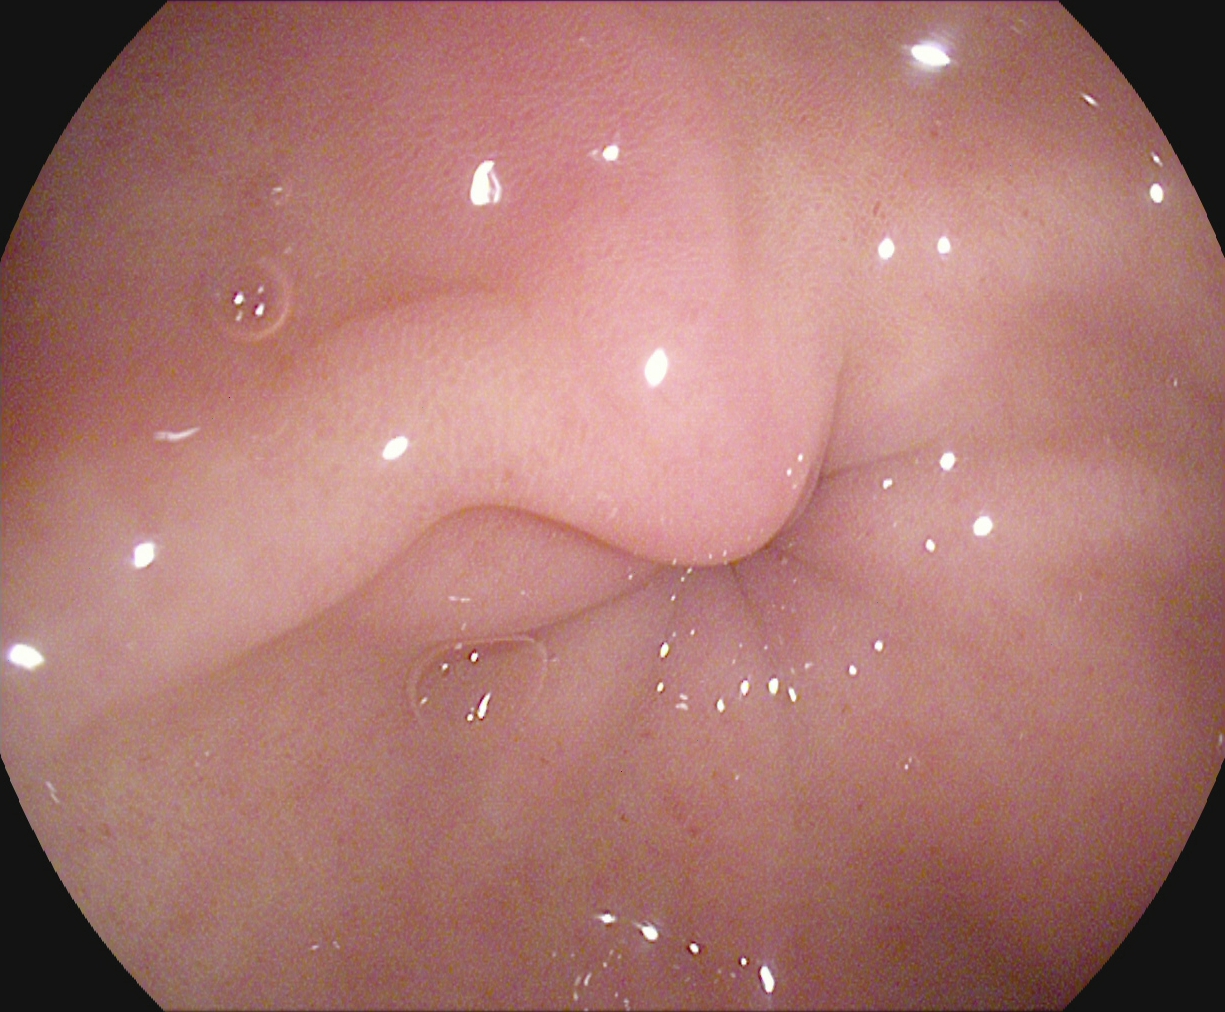EGD image showing pylorus.